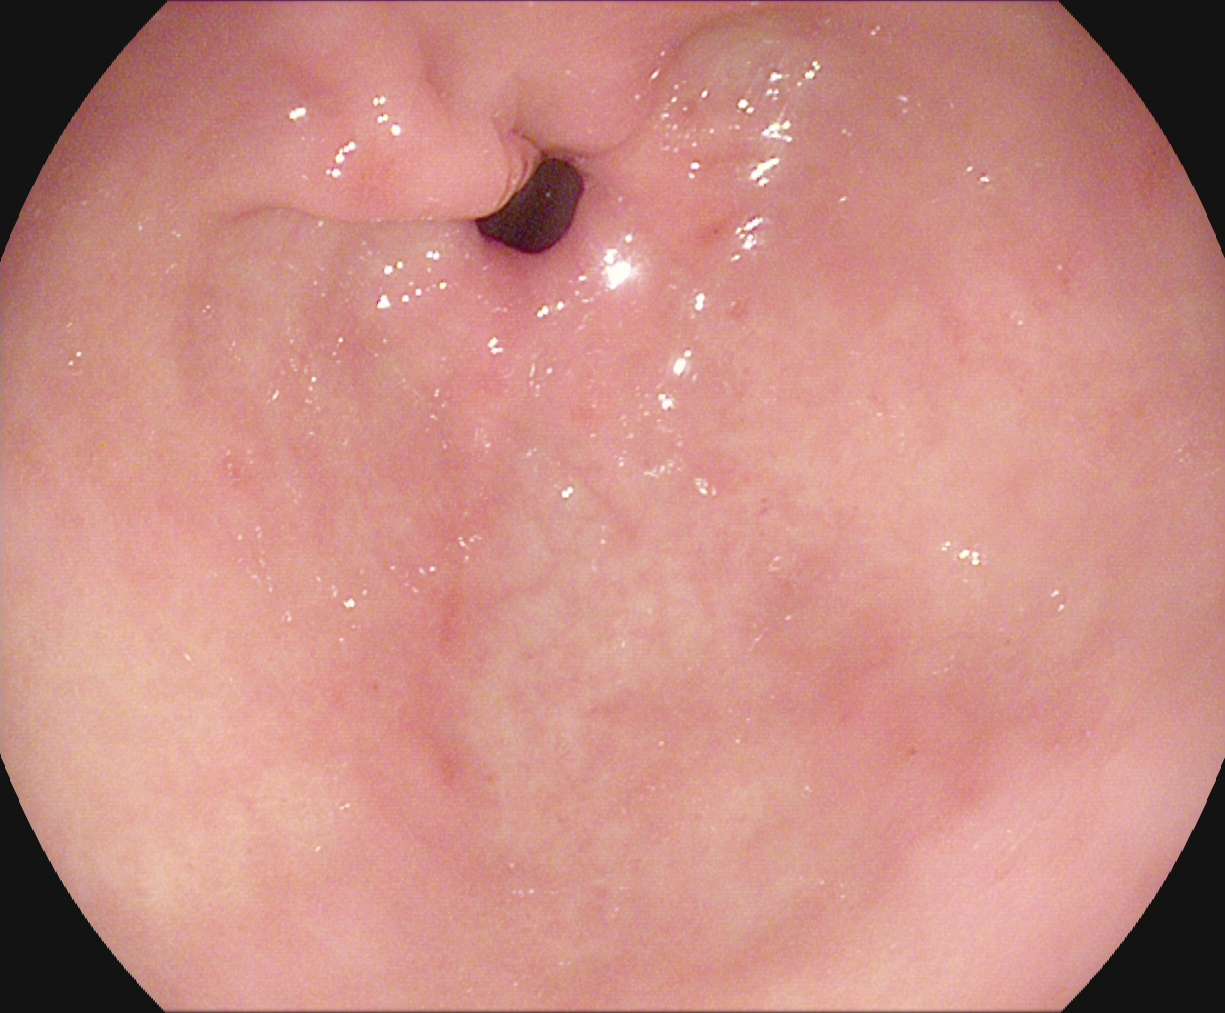Pylorus.